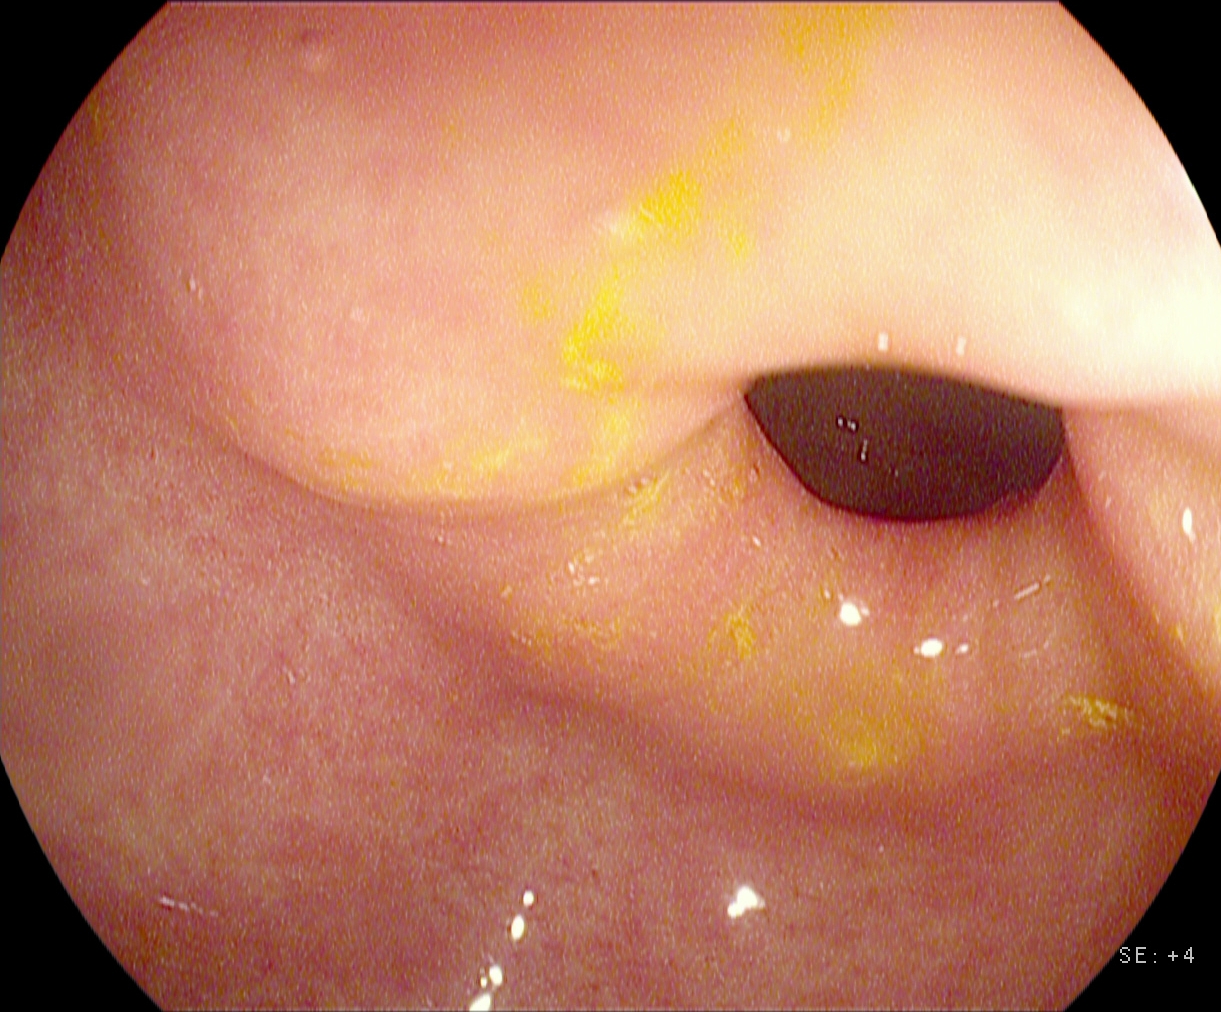Endoscopy image showing pylorus.